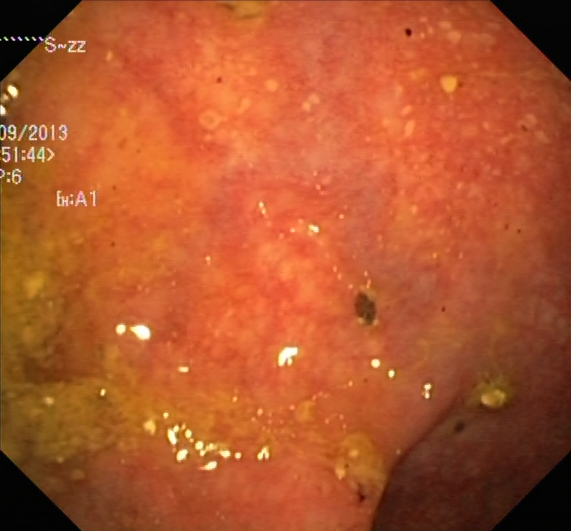This endoscopic image of the lower GI tract shows UC, Mayo endoscopic subscore 1.